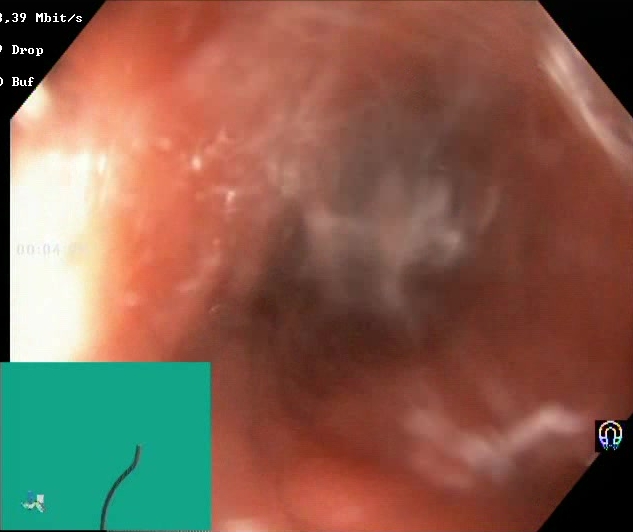modality: lower gastrointestinal endoscopy; tract: lower GI tract; finding: Boston Bowel Preparation Scale score 2–3 (adequate preparation)